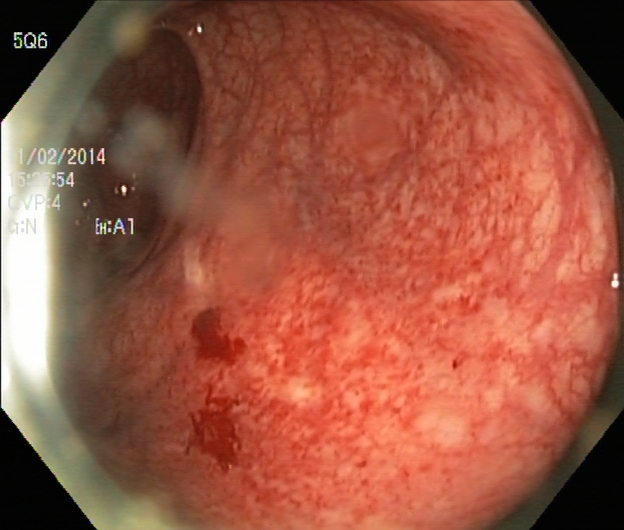UC, Mayo endoscopic subscore 1.